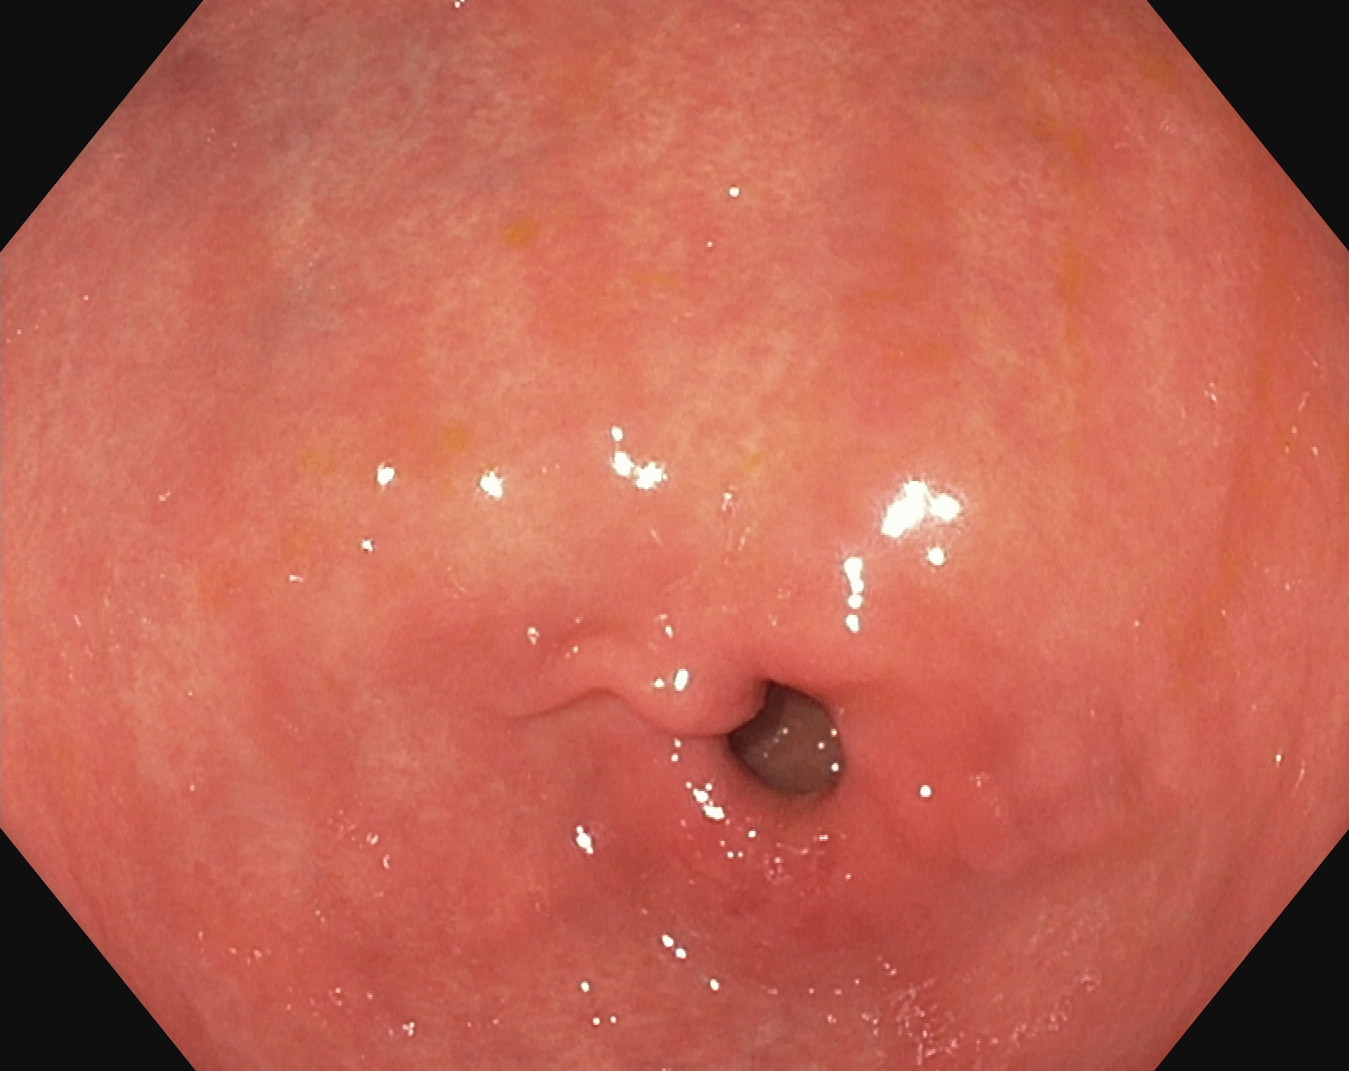This endoscopy frame shows pylorus.